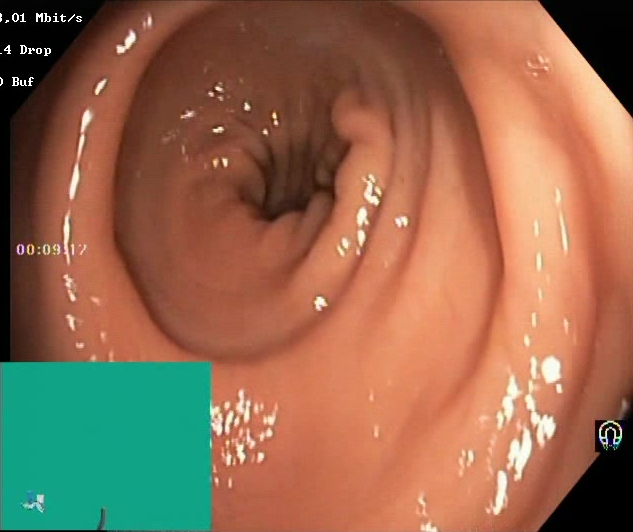modality: colonoscopy
finding: BBPS score 2–3 (adequate preparation)